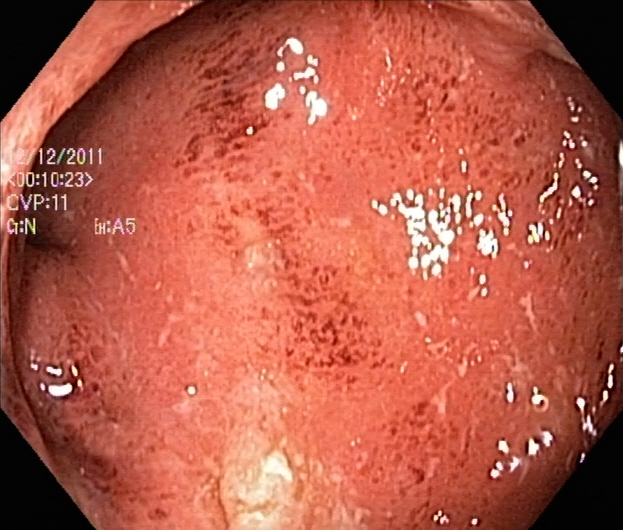{"modality": "lower-GI endoscopy", "tract": "lower GI tract", "finding": "UC, Mayo endoscopic subscore 2"}